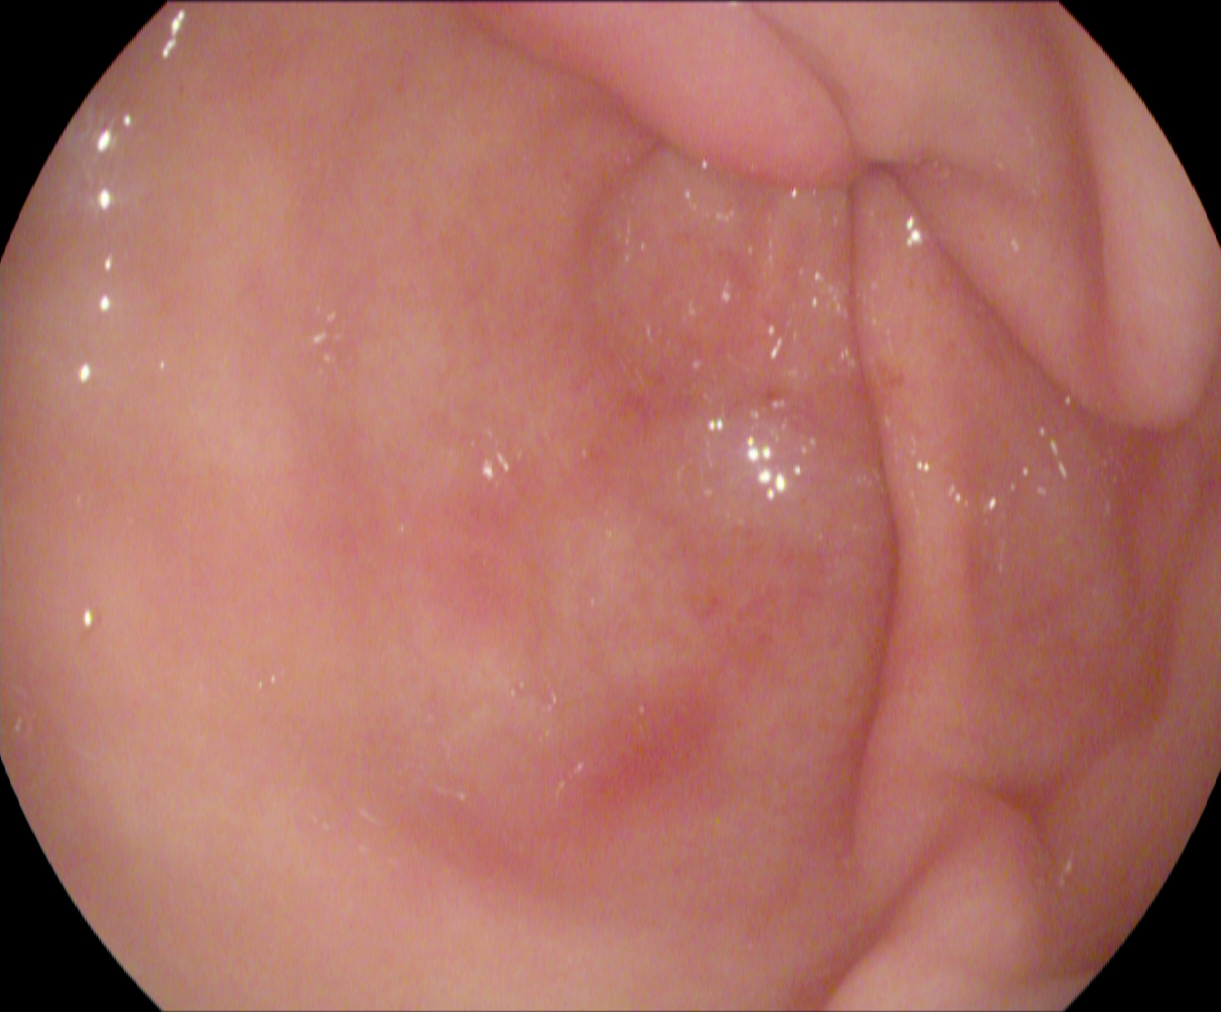modality: esophagogastroduodenoscopy | tract: upper GI tract | finding: pylorus